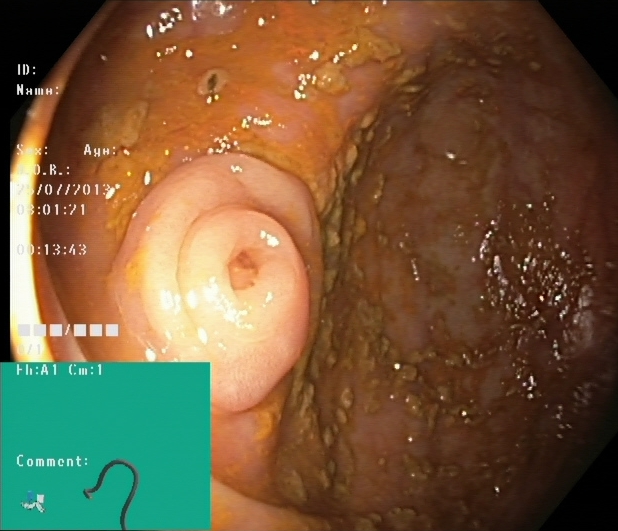GI endoscopy image showing cecum.